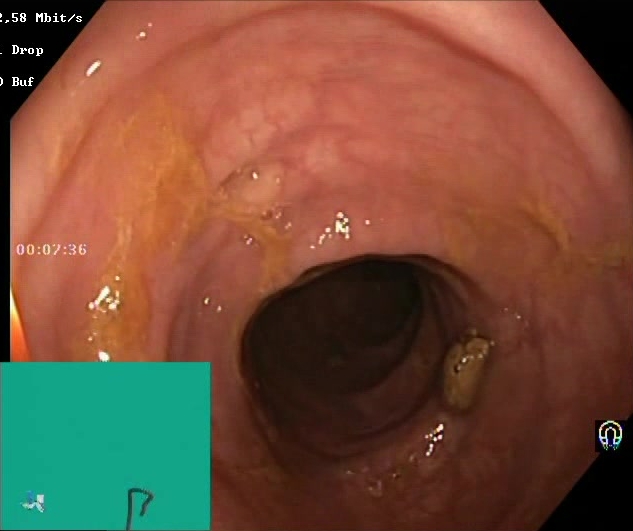This endoscopy frame shows Boston Bowel Preparation Scale score 2–3 (adequate preparation).